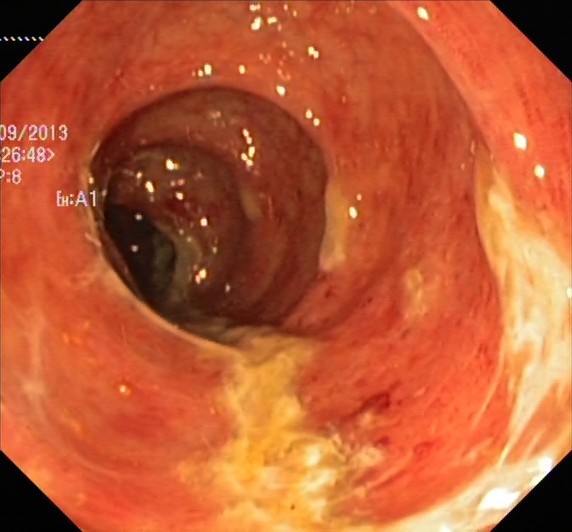This endoscopy frame of the lower GI tract shows ulcerative colitis, Mayo endoscopic subscore 2.